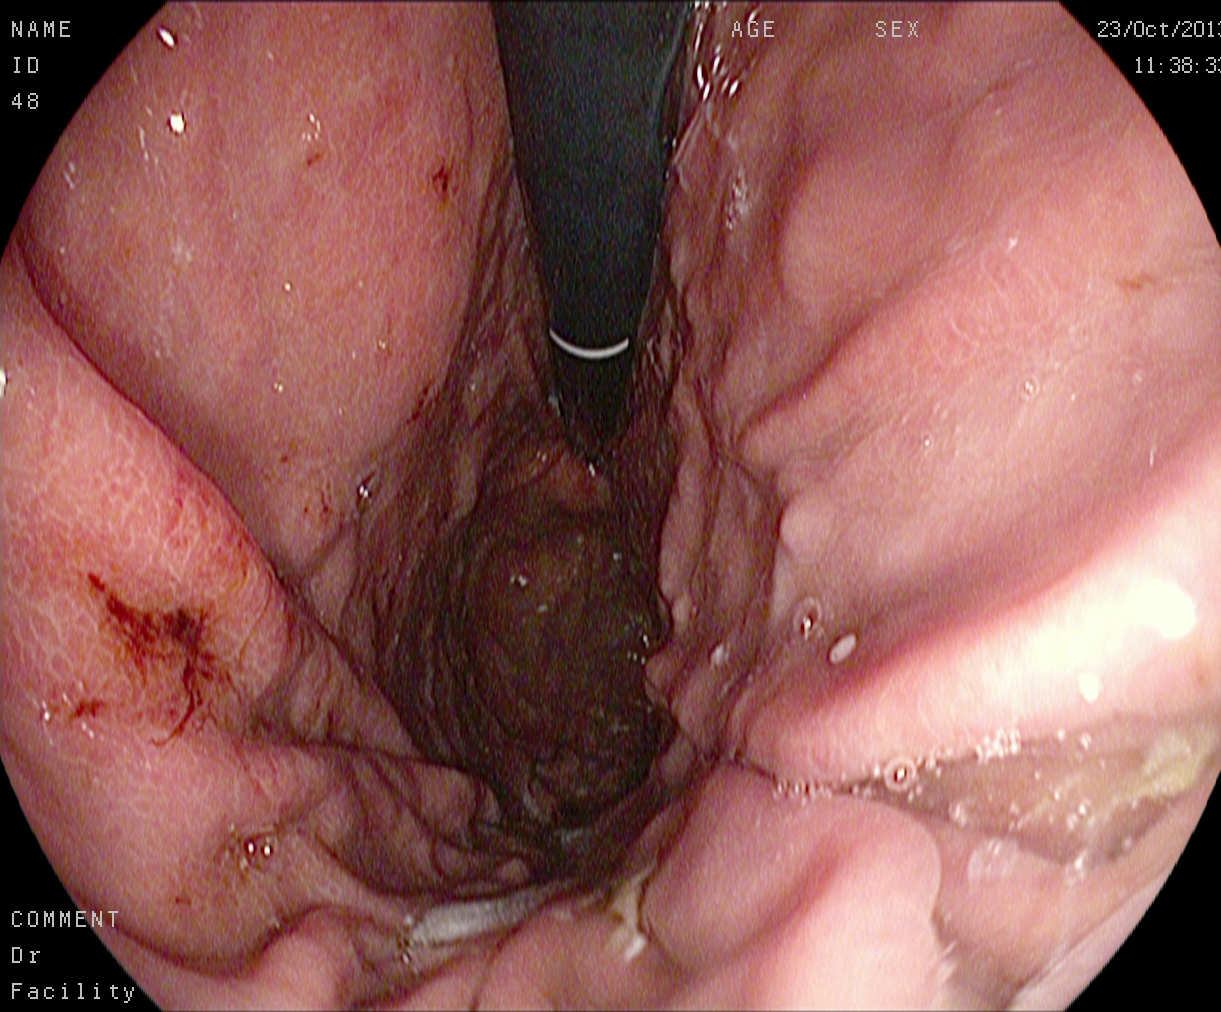{"modality": "gastroscopy", "tract": "upper GI tract", "category": "anatomical landmark", "finding": "stomach in retroflexion"}